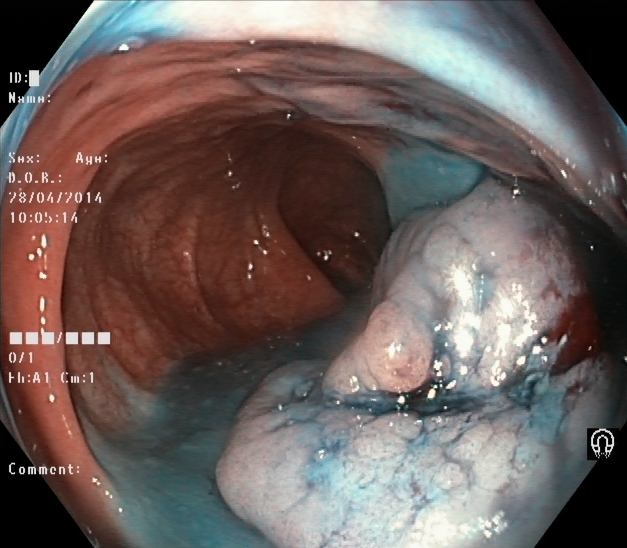{"modality": "lower gastrointestinal endoscopy", "tract": "lower GI tract", "finding": "dyed and lifted polyp (pre-resection)"}